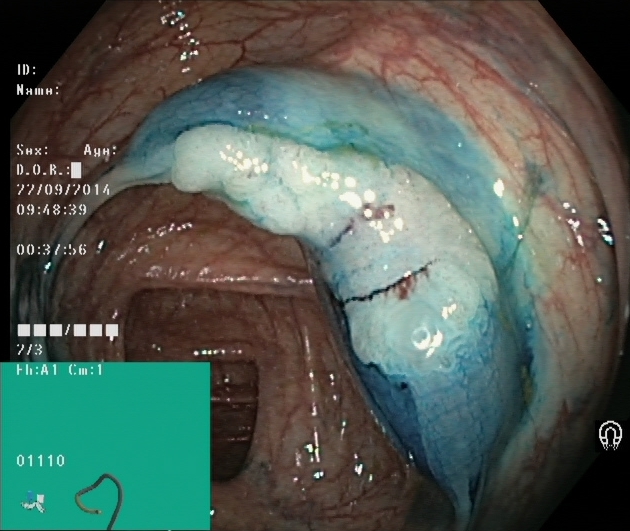Gastrointestinal endoscopy image of the lower GI tract showing dyed and lifted polyp (pre-resection).